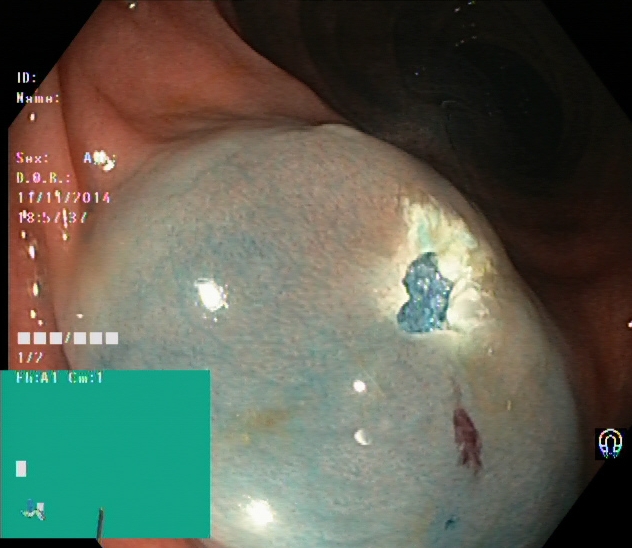{"modality": "colonoscopy", "tract": "lower GI tract", "category": "therapeutic intervention", "finding": "dyed resection margins (post-polypectomy)"}